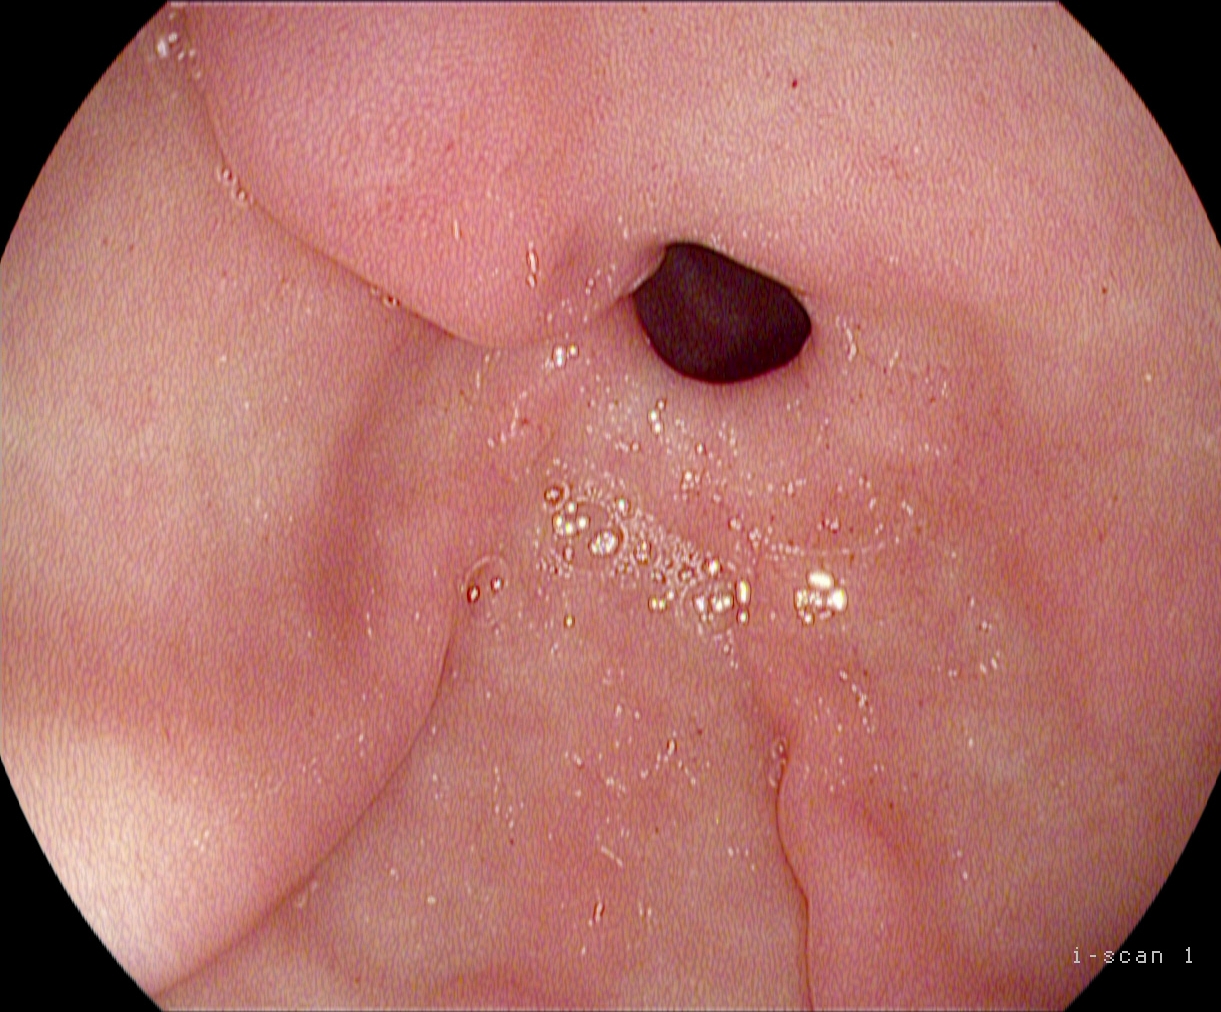{"modality": "EGD", "tract": "upper GI tract", "finding": "pylorus"}